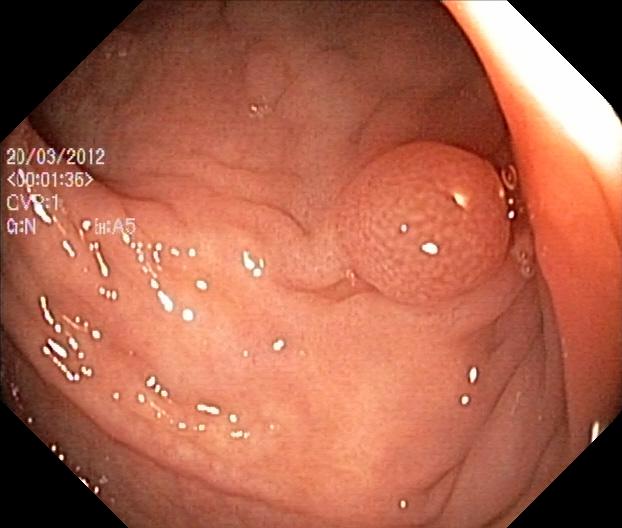modality: colonoscopy
tract: lower GI tract
category: pathological finding
finding: colorectal polyp(s)